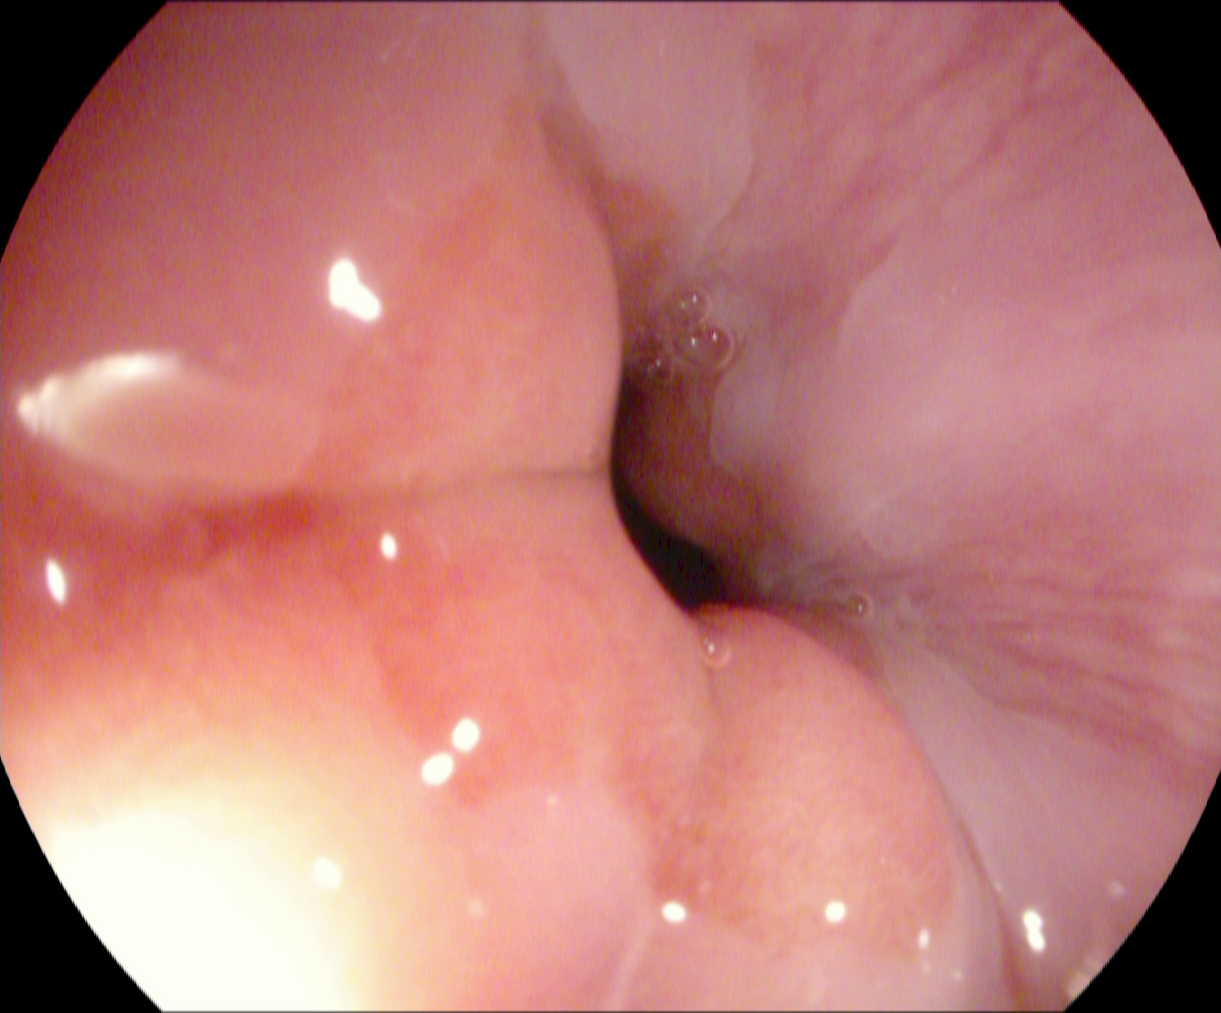Z-line (gastroesophageal junction).